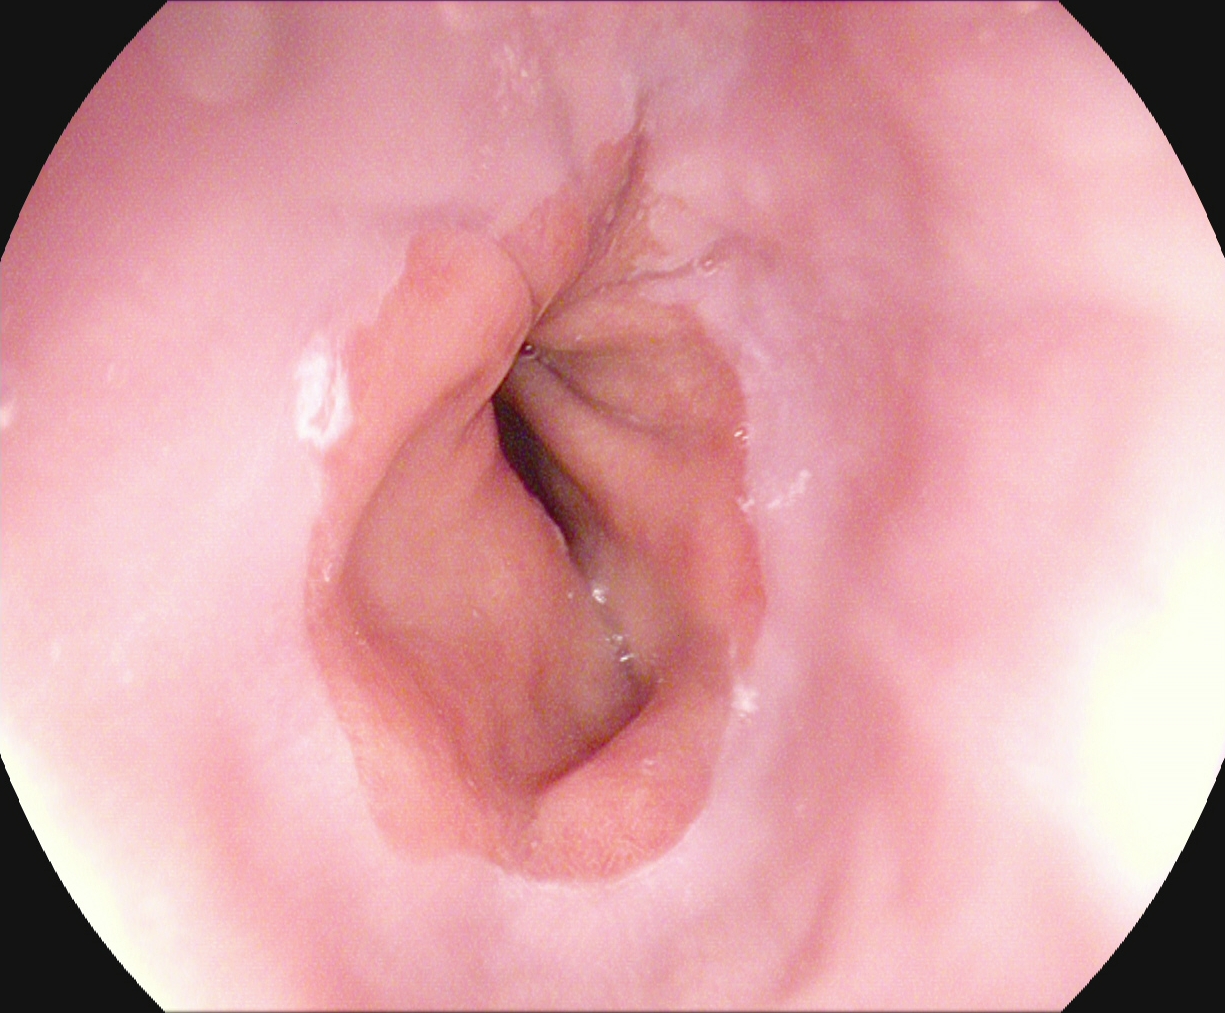{"modality": "upper-GI endoscopy", "tract": "upper GI tract", "category": "anatomical landmark", "finding": "Z-line (gastroesophageal junction)"}